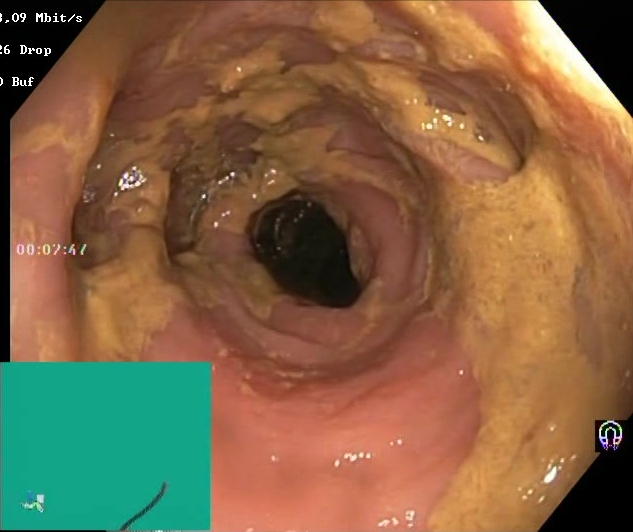modality: lower-GI endoscopy; tract: lower GI tract; finding: Boston Bowel Preparation Scale score 0–1 (inadequate preparation)